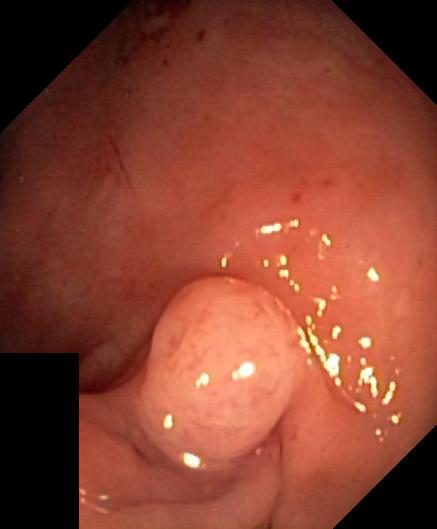{"modality": "lower gastrointestinal endoscopy", "tract": "lower GI tract", "finding": "colorectal polyp(s)"}